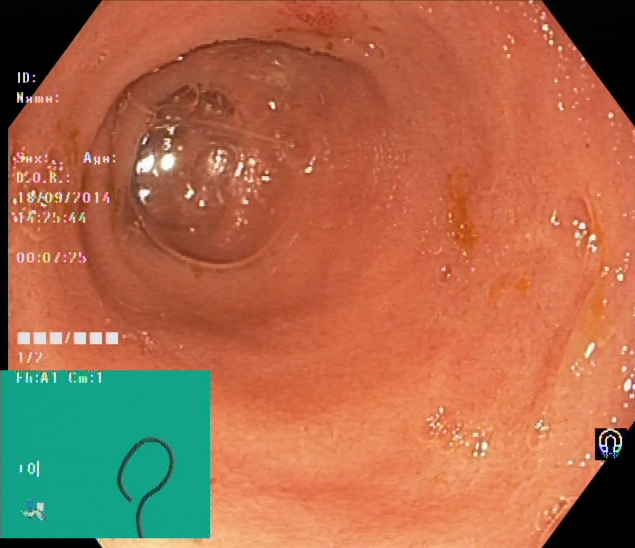Cecum.